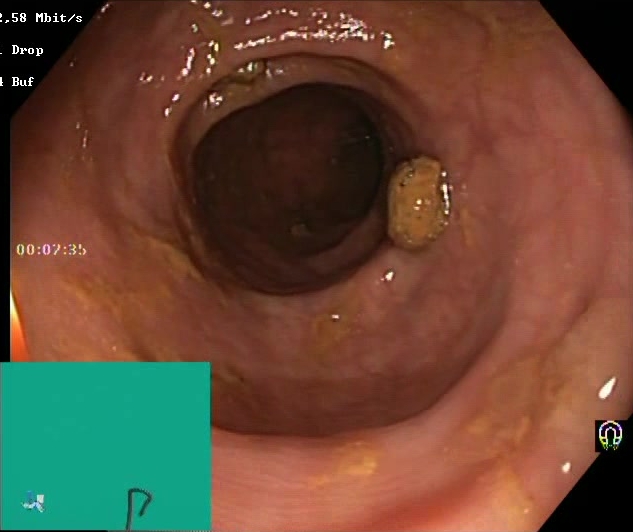Colonoscopy — Boston Bowel Preparation Scale score 2–3 (adequate preparation).